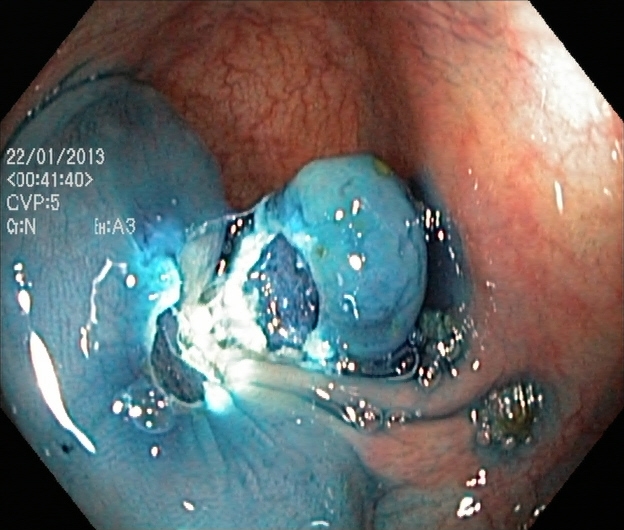Colonoscopy — dyed resection margins (post-polypectomy).